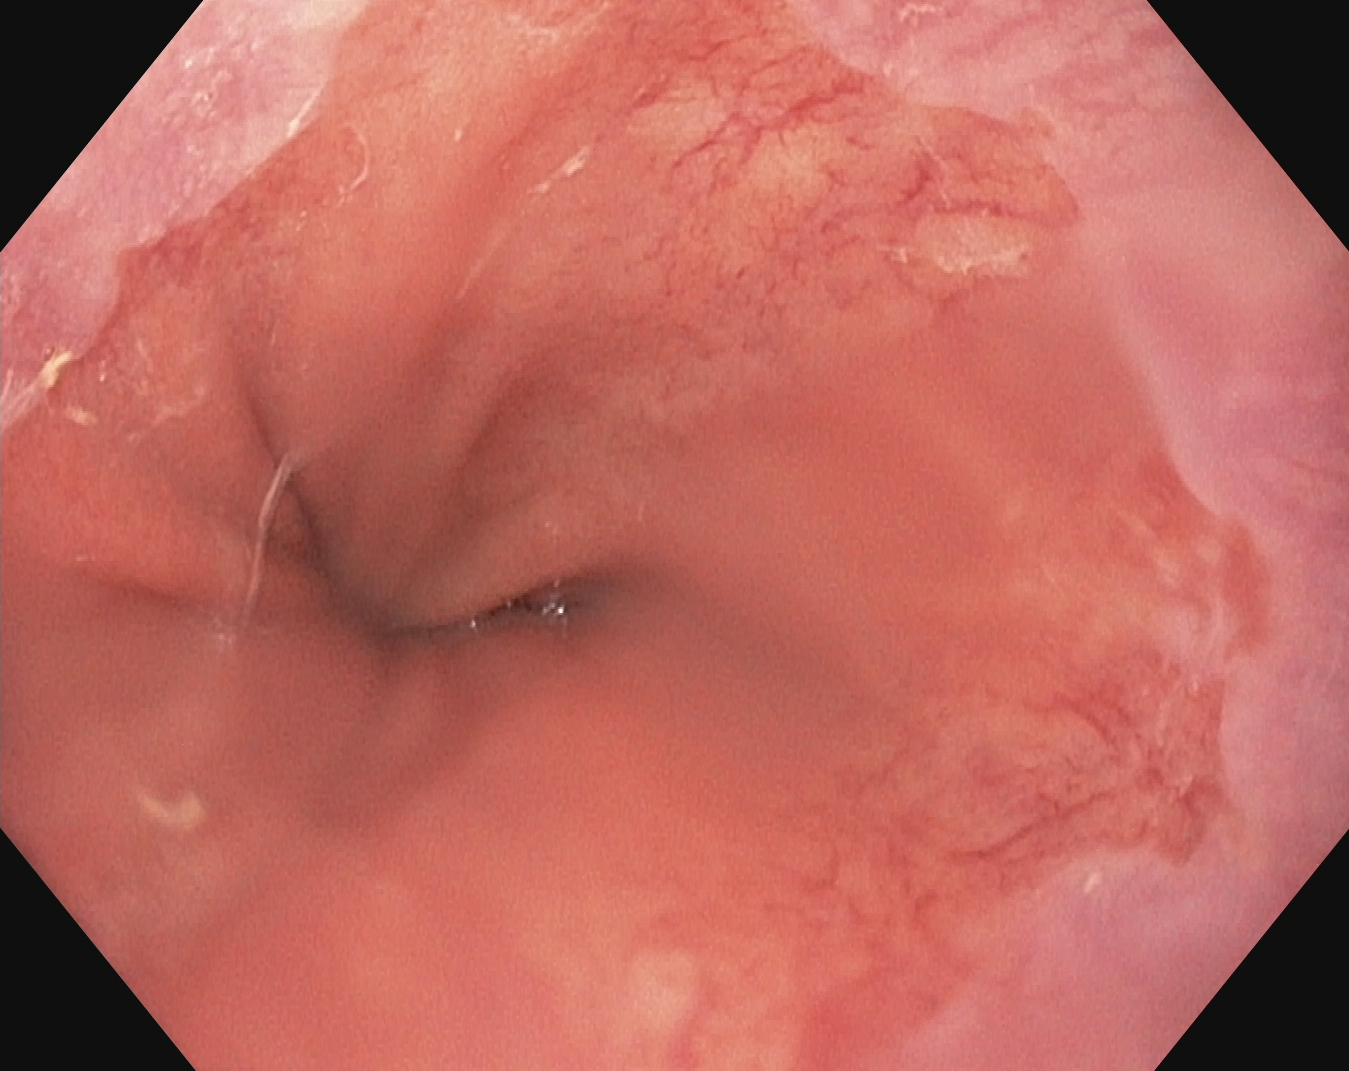Upper-GI endoscopy. Tract: upper GI tract. Finding: Barrett's esophagus, short segment.